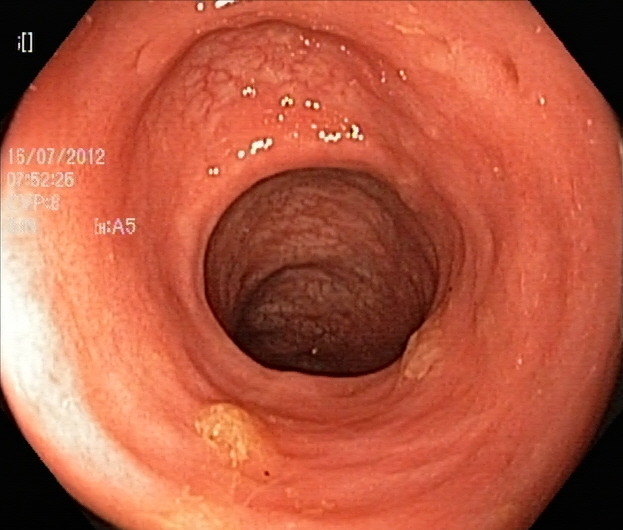UC, Mayo endoscopic subscore 2.